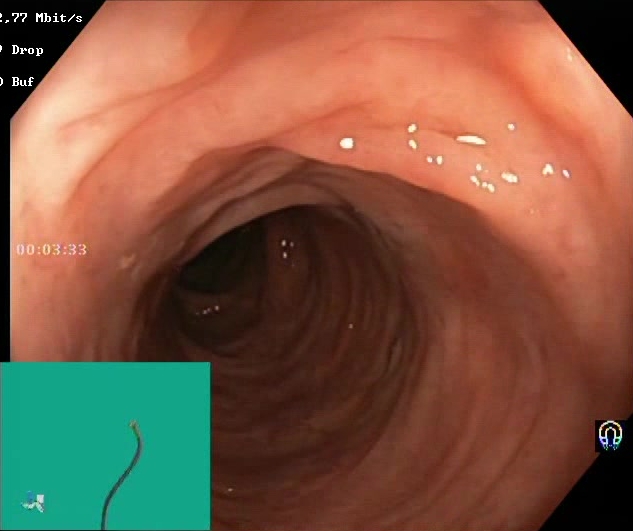PROCEDURE: Lower-GI endoscopy.
FINDINGS: BBPS score 2–3 (adequate preparation).